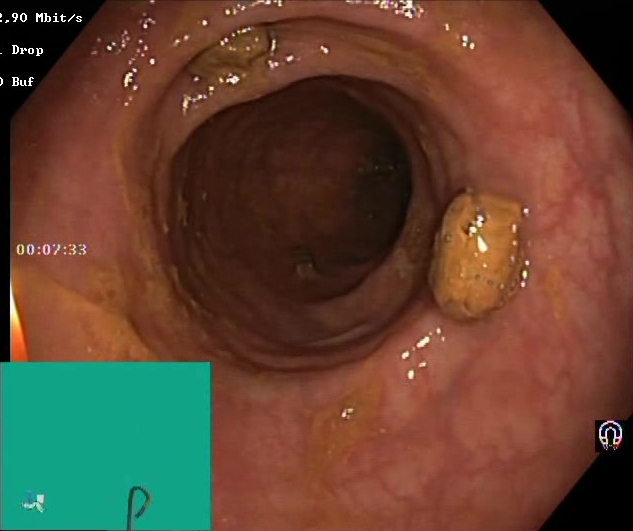Impacted stool.